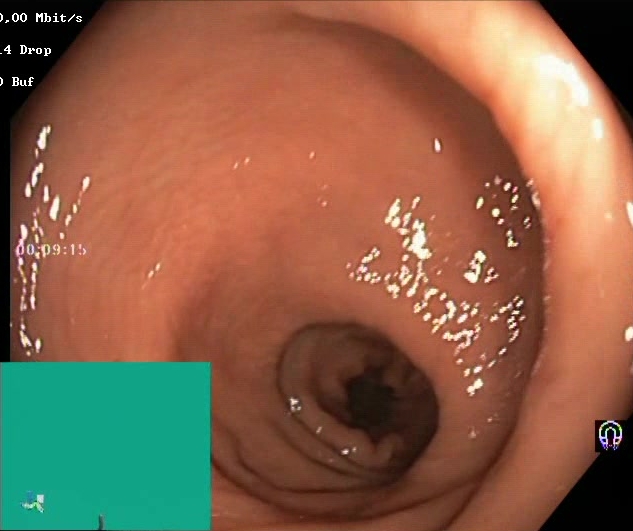PROCEDURE: Lower-GI endoscopy.
FINDINGS: Boston Bowel Preparation Scale score 2–3 (adequate preparation).